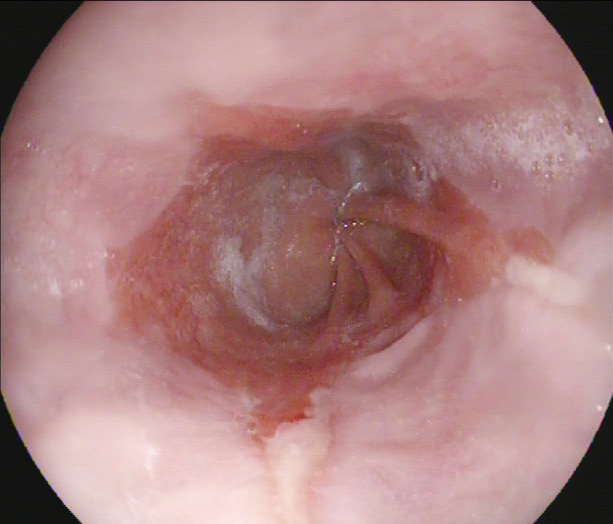modality: upper-GI endoscopy; finding: Barrett's esophagus, short segment